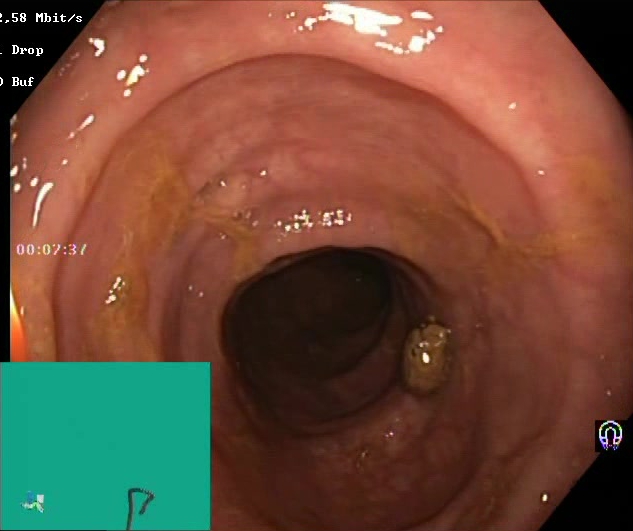Lower gastrointestinal endoscopy — Boston Bowel Preparation Scale score 2–3 (adequate preparation).